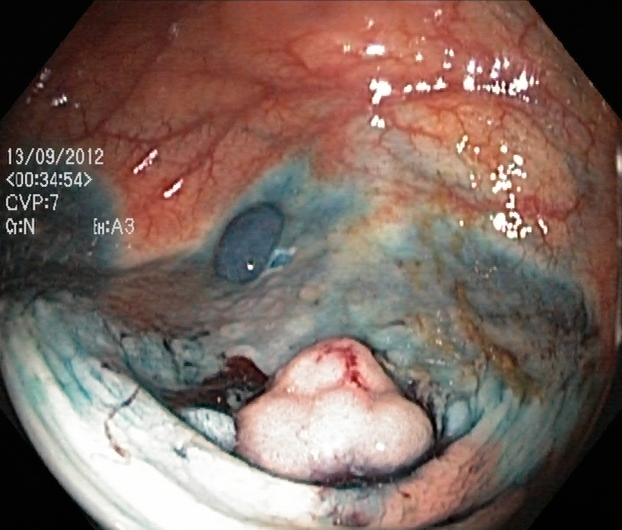PROCEDURE: Lower-GI endoscopy.
CATEGORY: Therapeutic intervention.
FINDINGS: Dyed and lifted polyp (pre-resection).